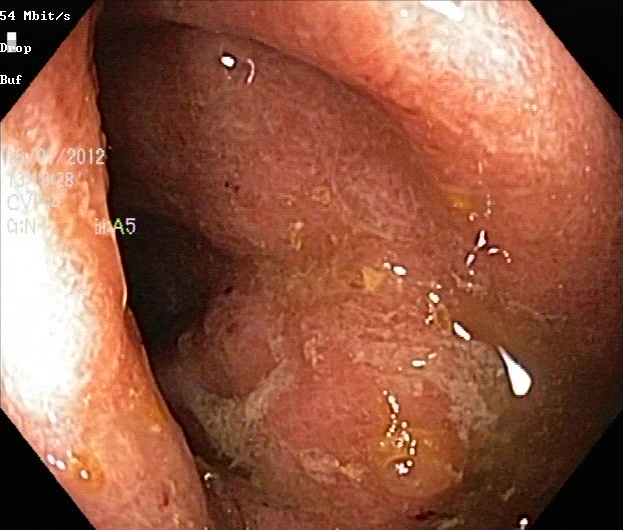modality: lower gastrointestinal endoscopy; finding: ulcerative colitis, Mayo endoscopic subscore 2